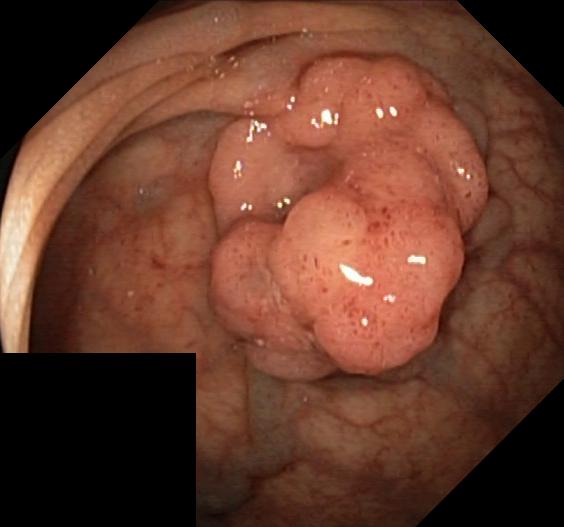PROCEDURE: Colonoscopy.
CATEGORY: Pathological finding.
FINDINGS: Colorectal polyp(s).